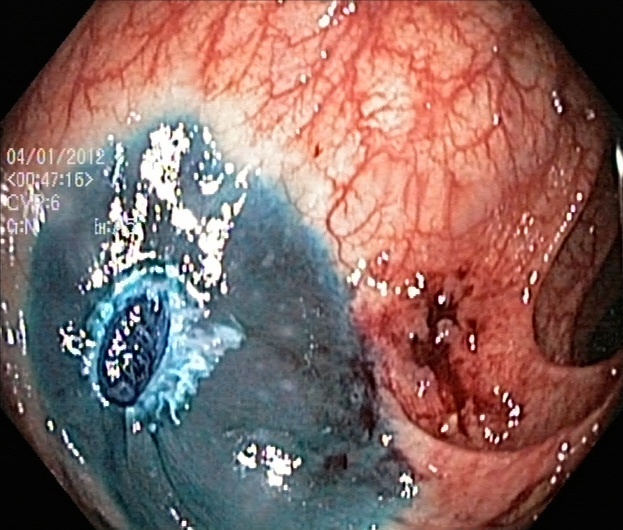This endoscopy frame of the lower GI tract shows dyed resection margins (post-polypectomy).